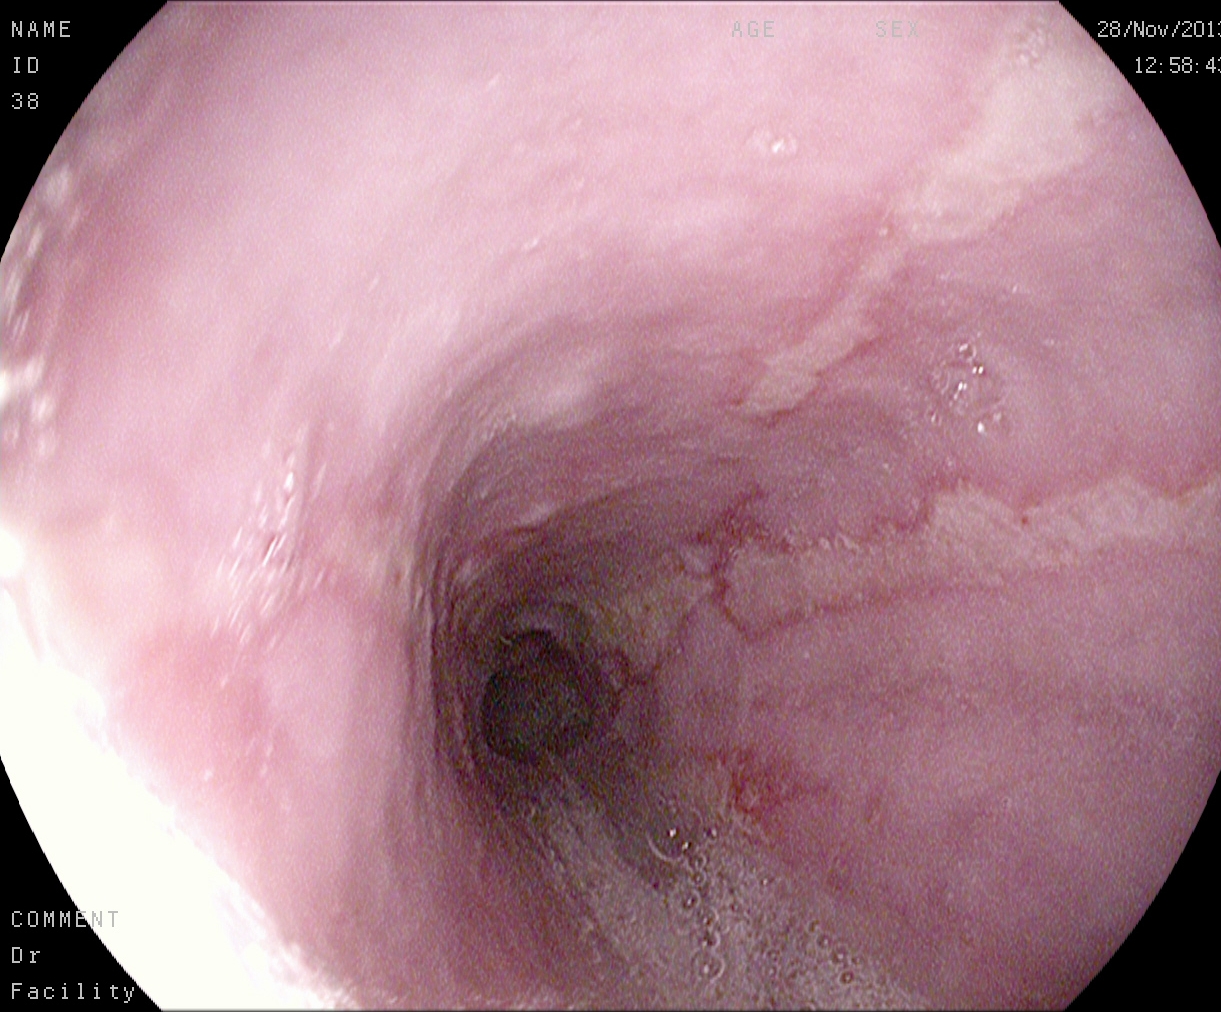{"modality": "EGD", "finding": "reflux esophagitis, LA grade A"}